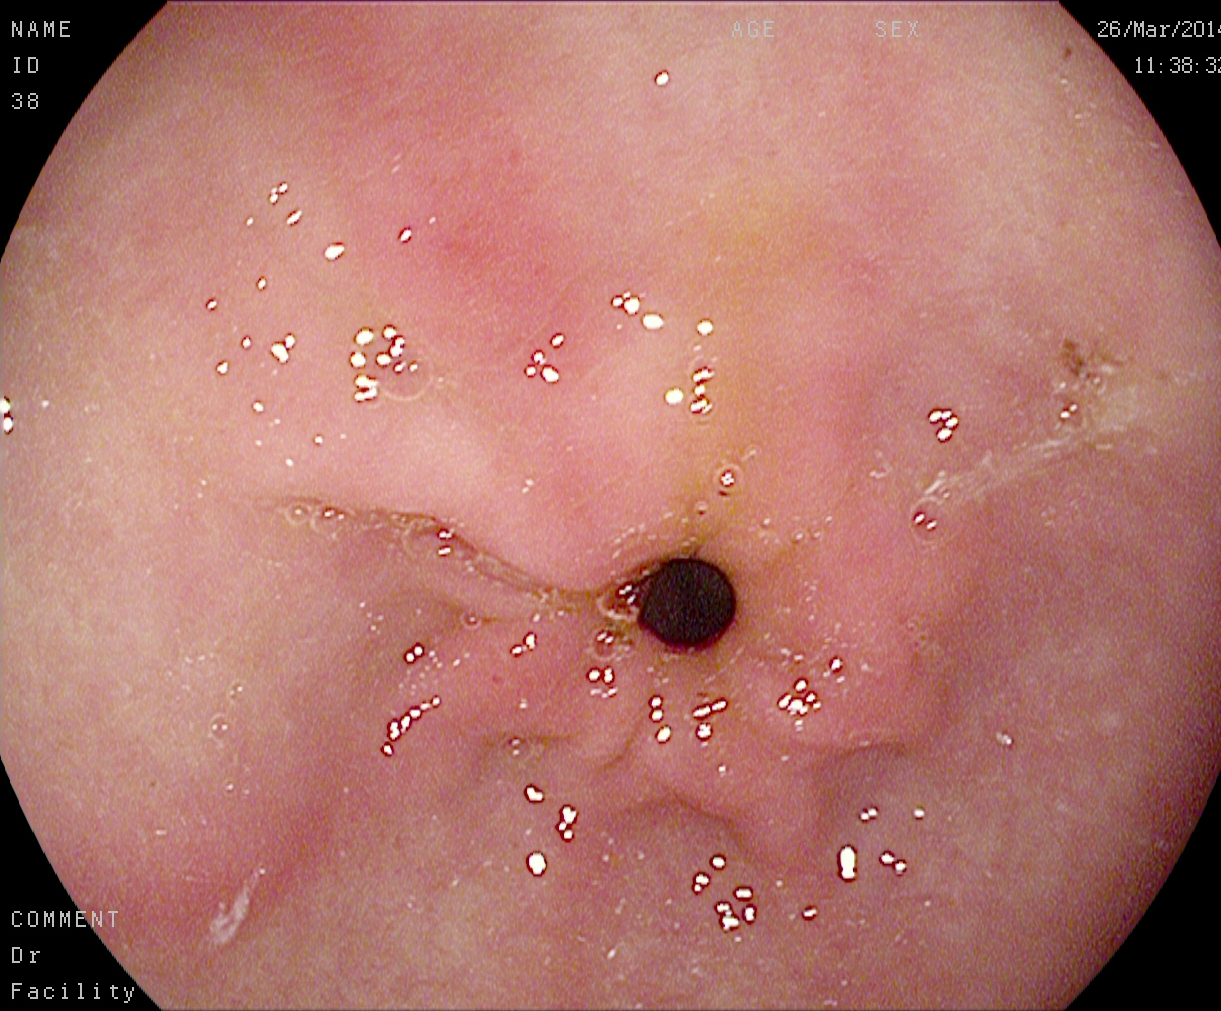{"modality": "upper-GI endoscopy", "finding": "pylorus"}